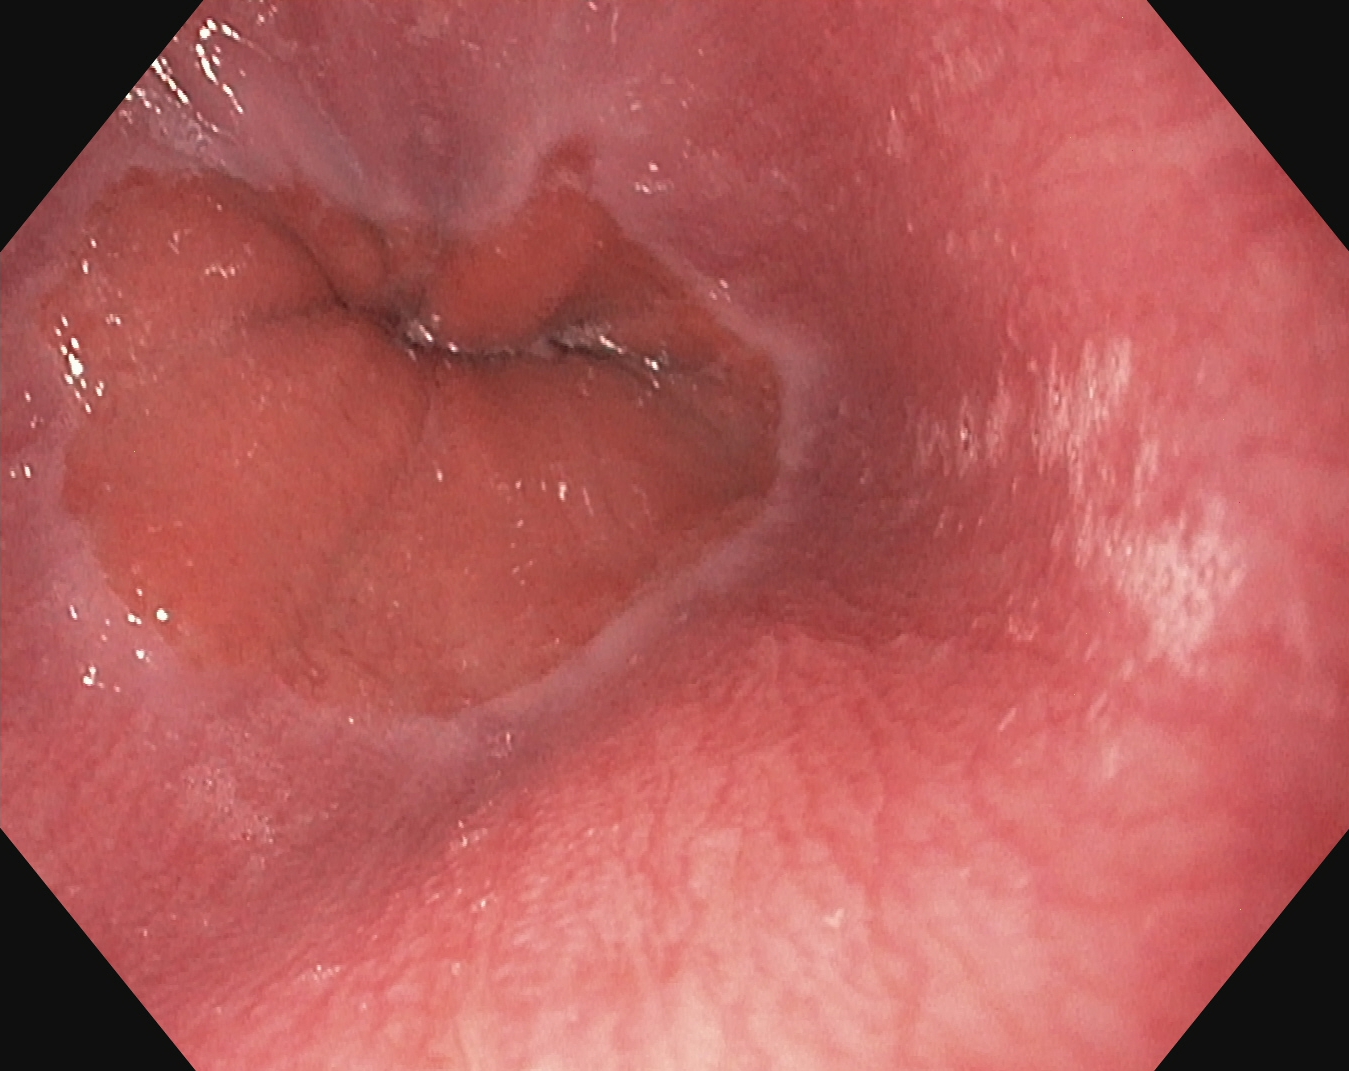PROCEDURE: EGD.
CATEGORY: Anatomical landmark.
FINDINGS: Z-line (gastroesophageal junction).